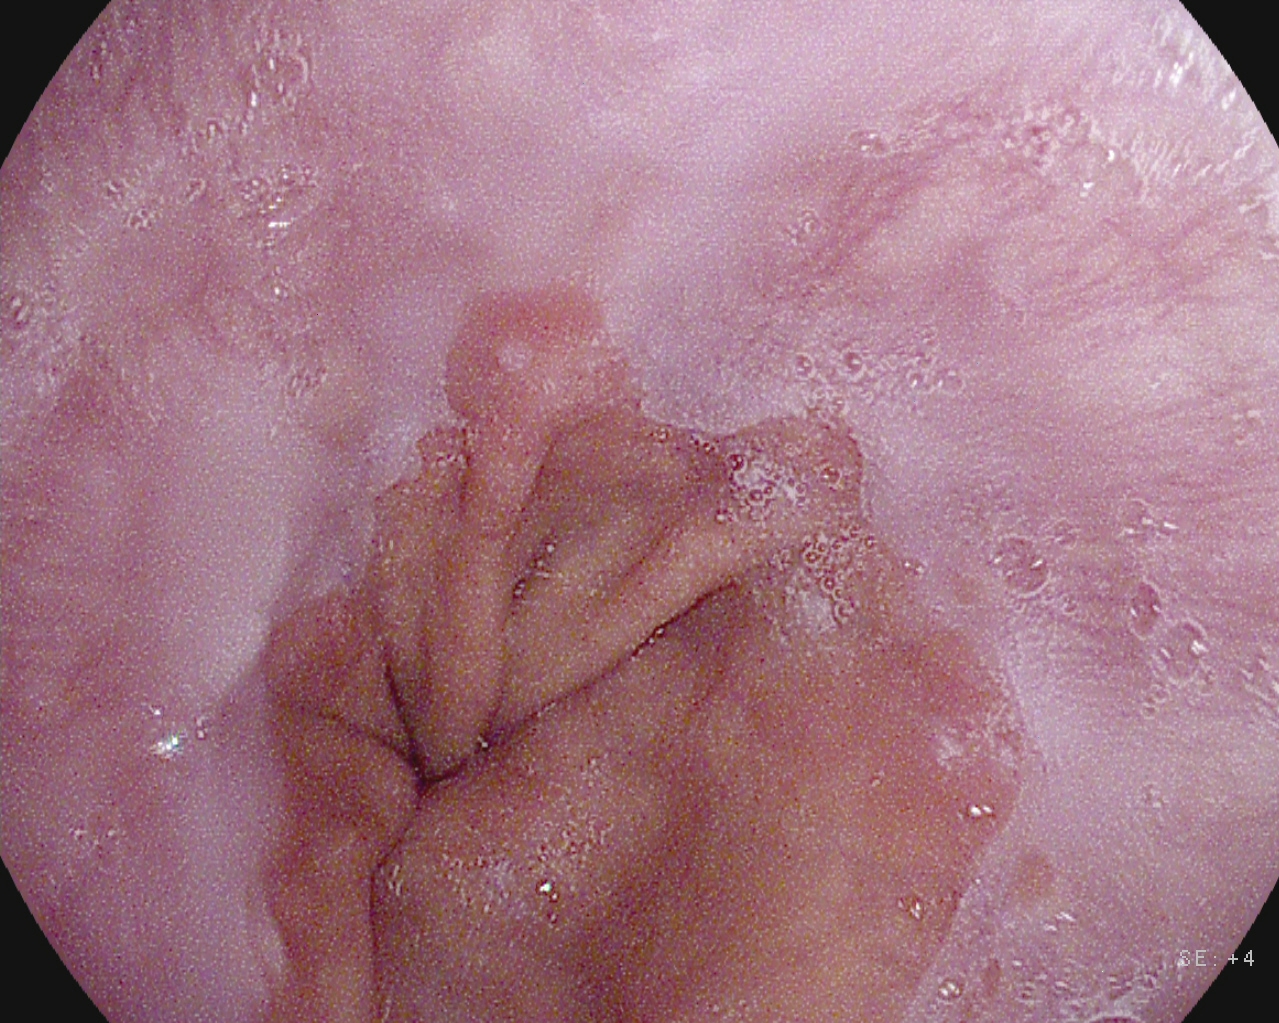PROCEDURE: Gastroscopy.
FINDINGS: Z-line (gastroesophageal junction).